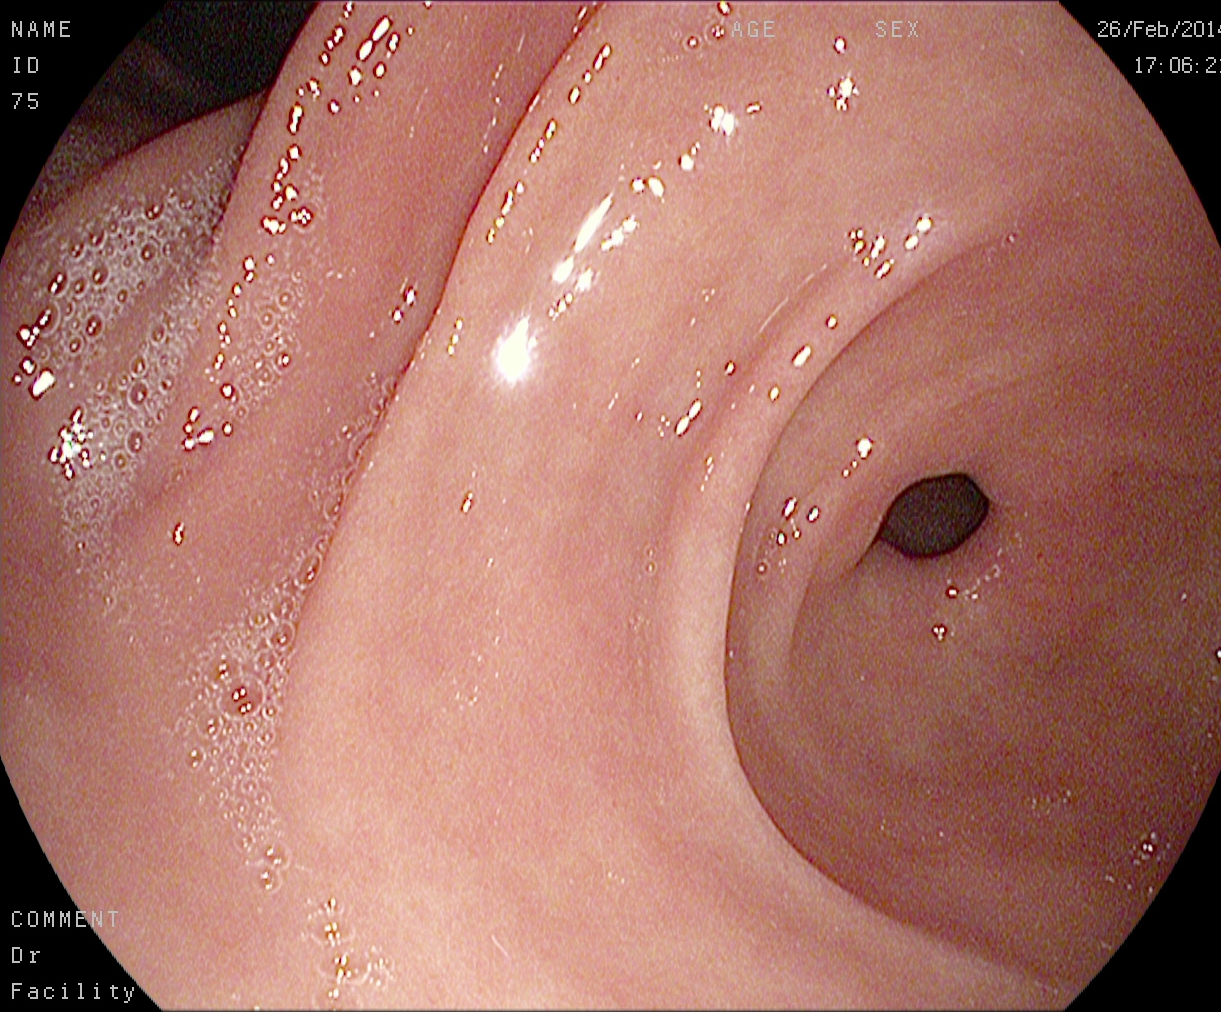Pylorus.